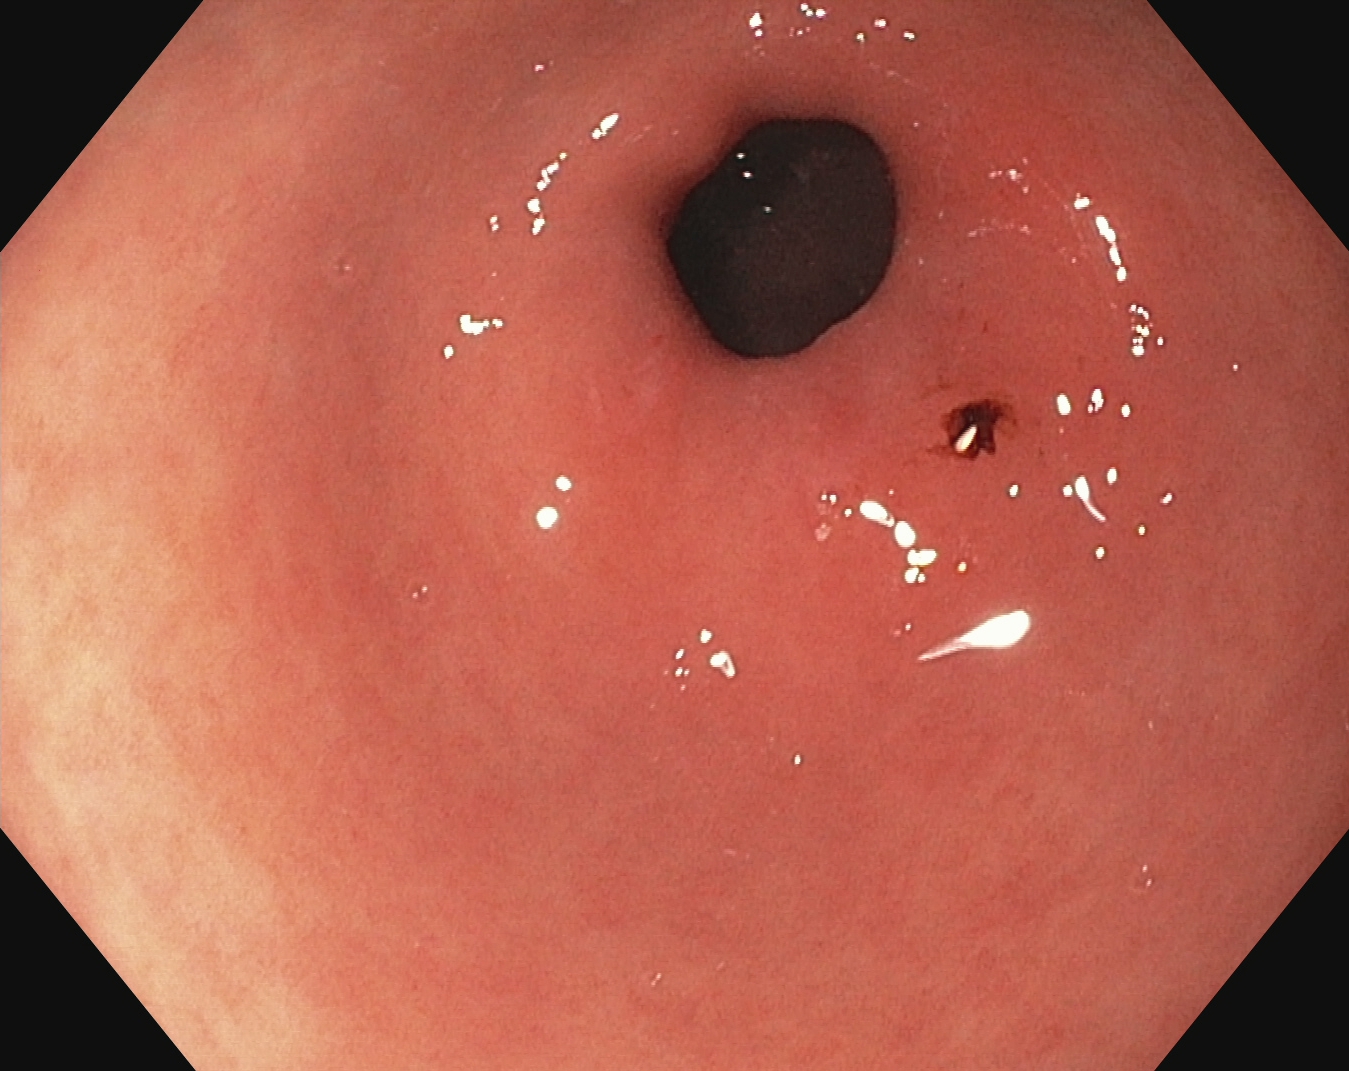Pylorus.